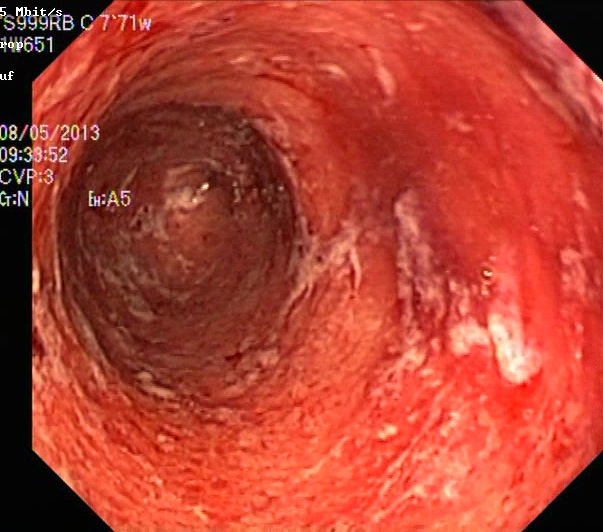modality: colonoscopy; tract: lower GI tract; category: pathological finding; finding: ulcerative colitis, Mayo endoscopic subscore 3